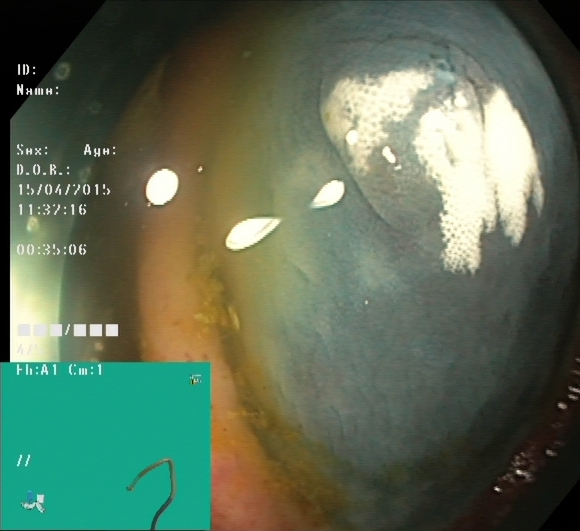{"modality": "lower-GI endoscopy", "tract": "lower GI tract", "finding": "dyed and lifted polyp (pre-resection)"}